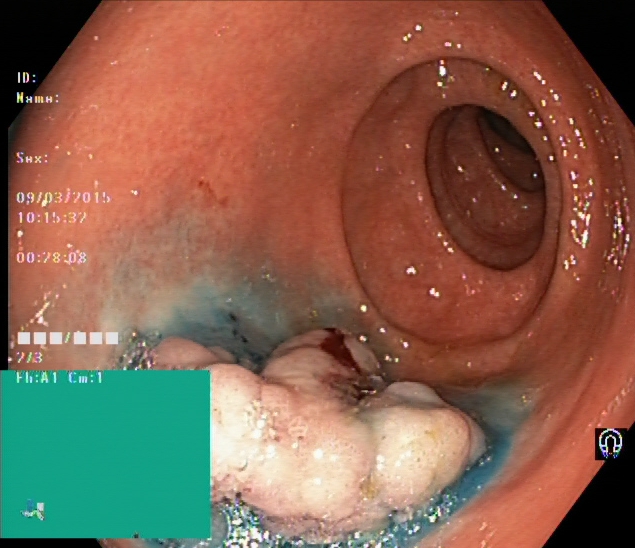Dyed and lifted polyp (pre-resection).